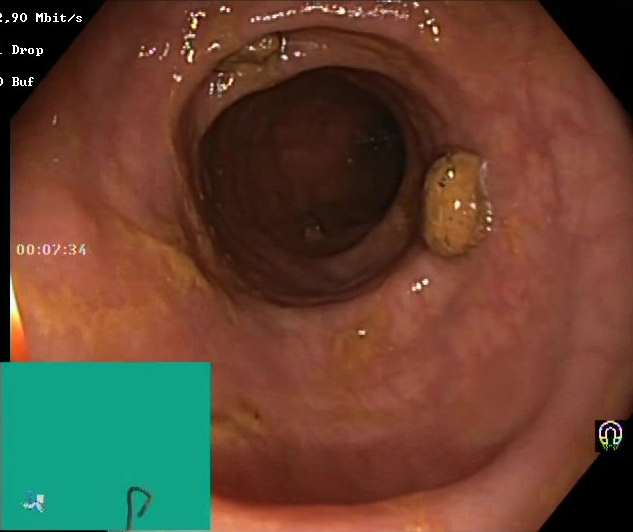PROCEDURE: Colonoscopy.
FINDINGS: Boston Bowel Preparation Scale score 2–3 (adequate preparation).